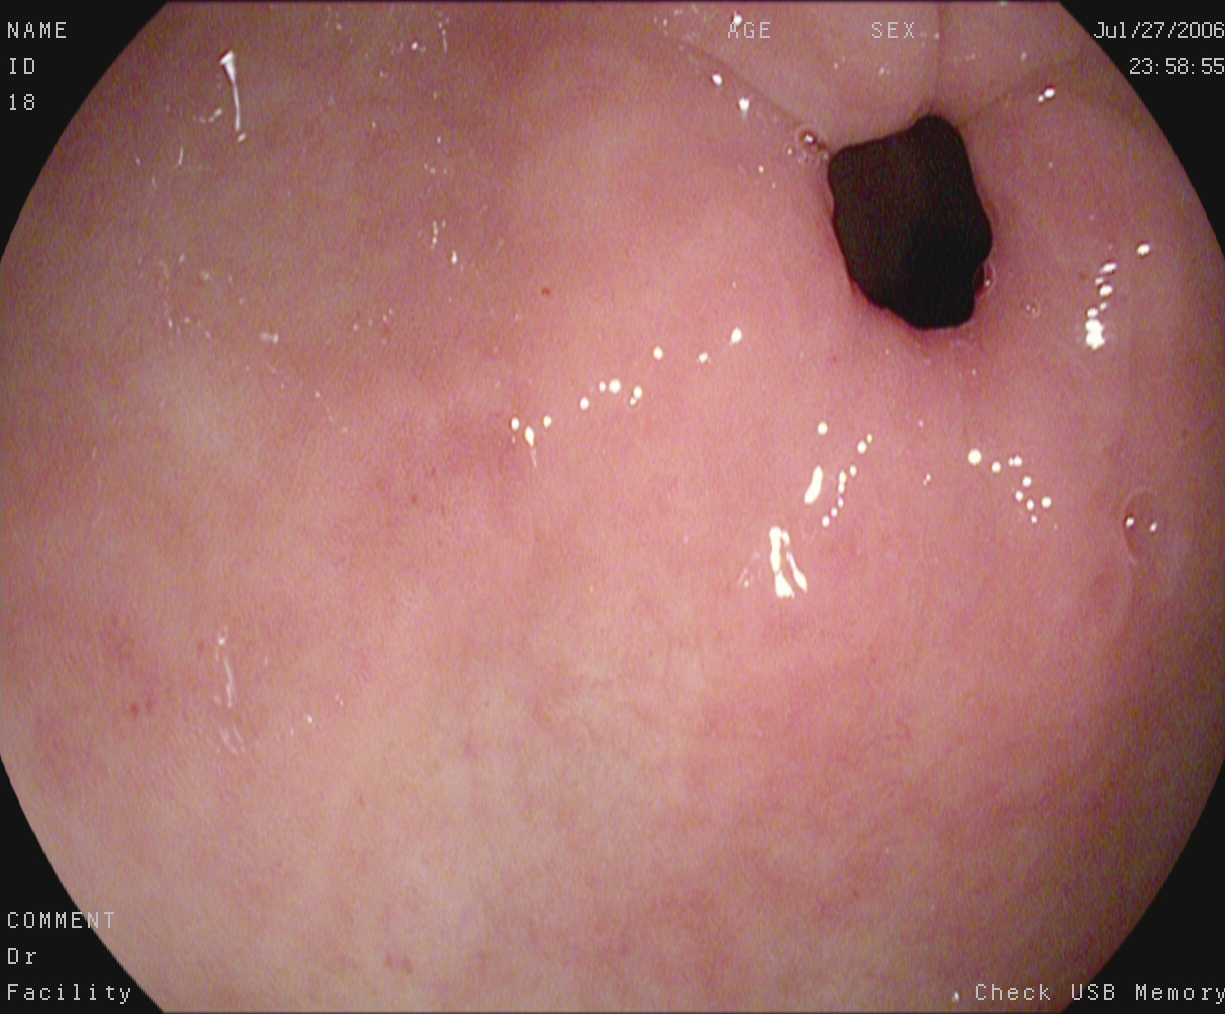Pylorus.